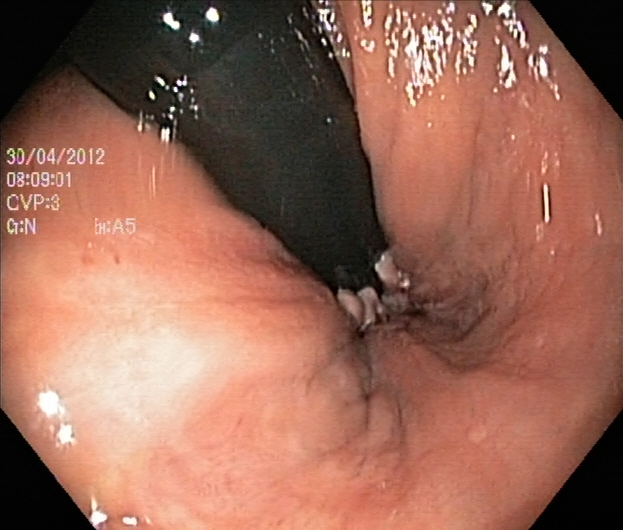{"modality": "colonoscopy", "category": "anatomical landmark", "finding": "rectum in retroflexion"}